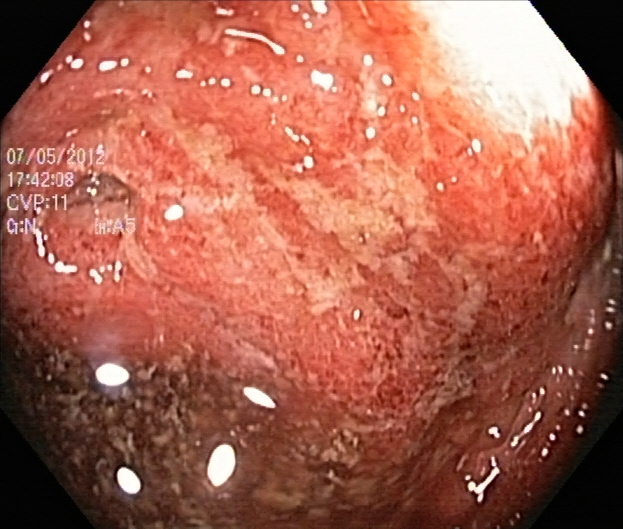PROCEDURE: Colonoscopy.
FINDINGS: Ulcerative colitis, Mayo endoscopic subscore 3.